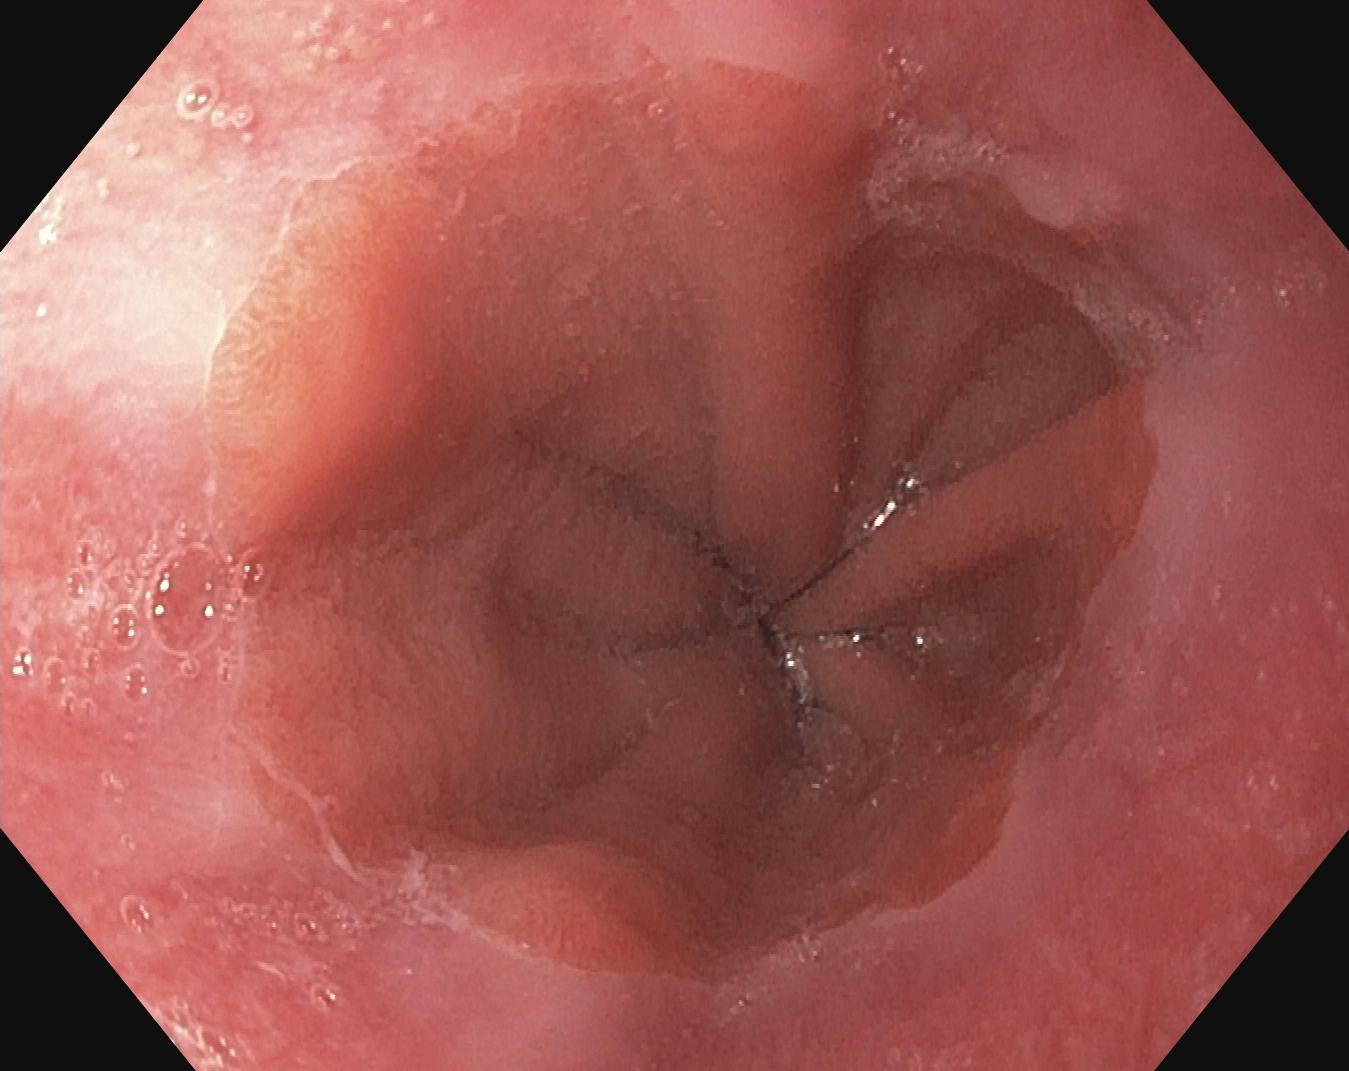PROCEDURE: Esophagogastroduodenoscopy.
CATEGORY: Anatomical landmark.
FINDINGS: Z-line (gastroesophageal junction).